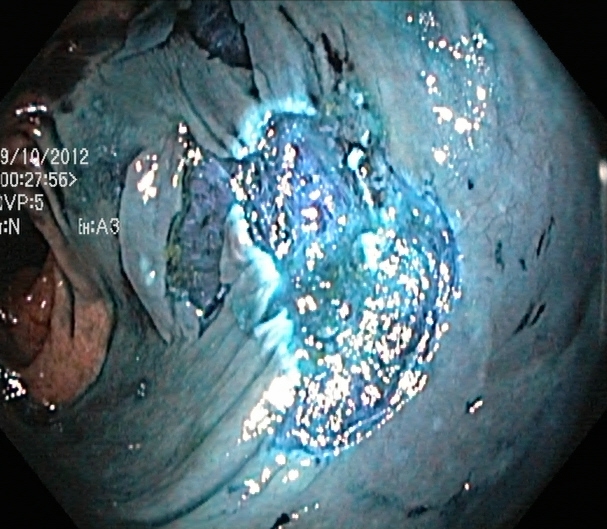This endoscopy frame shows dyed resection margins (post-polypectomy).